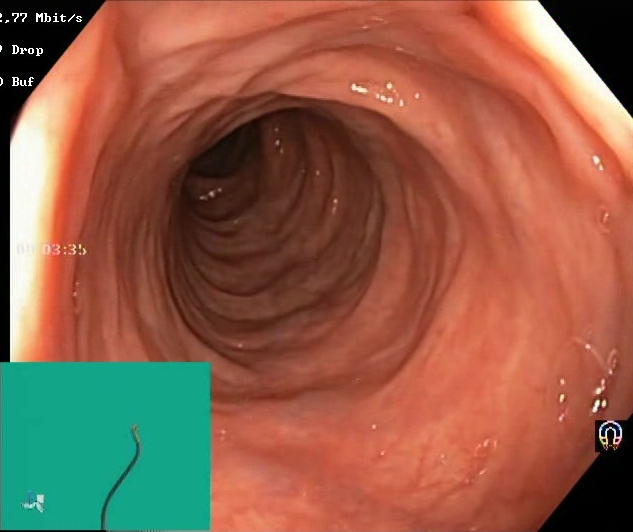This endoscopic image shows Boston Bowel Preparation Scale score 2–3 (adequate preparation).